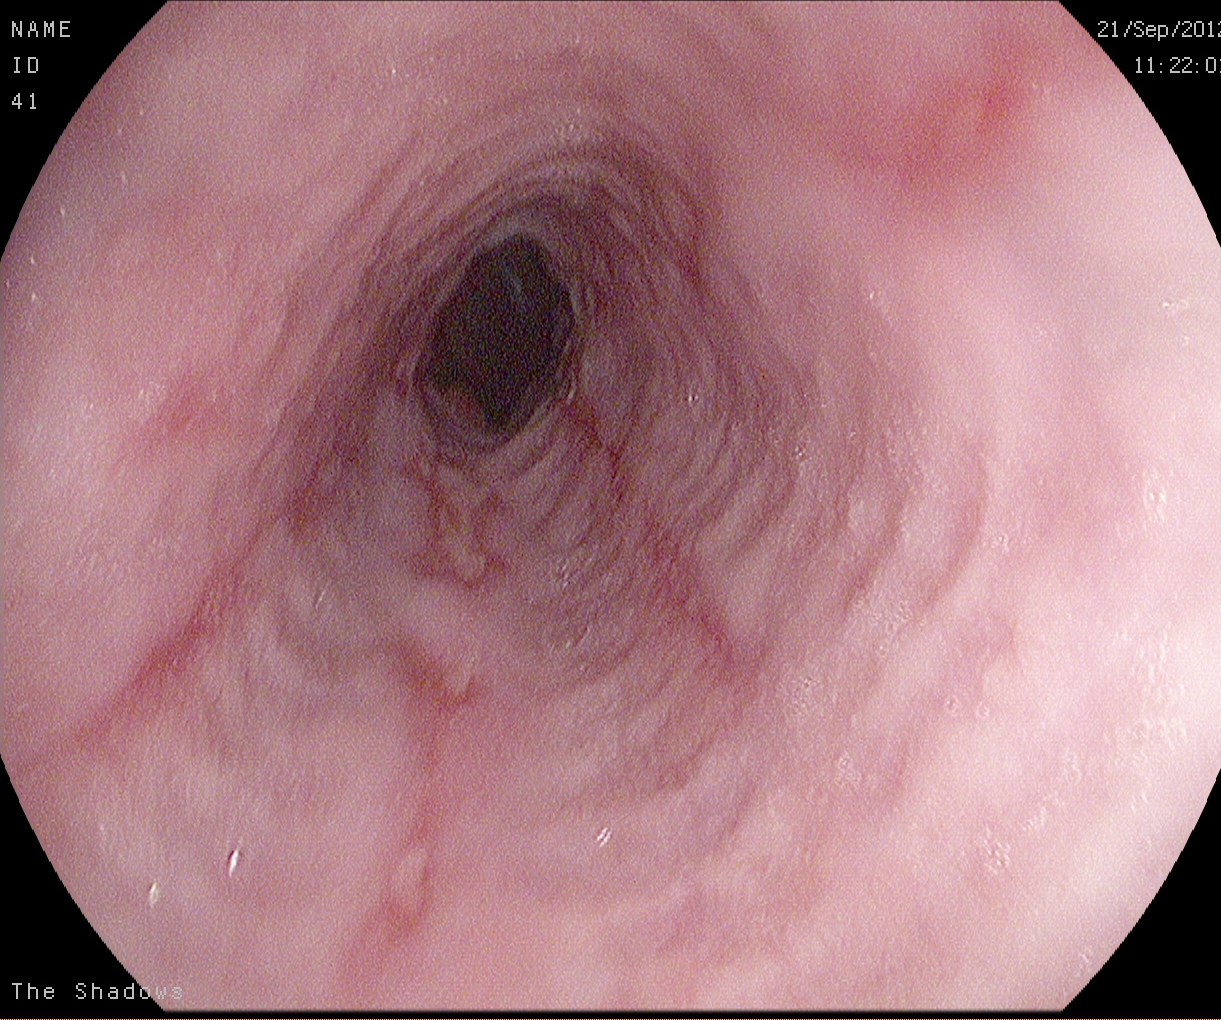PROCEDURE: Upper-GI endoscopy.
FINDINGS: Barrett's esophagus, short segment.